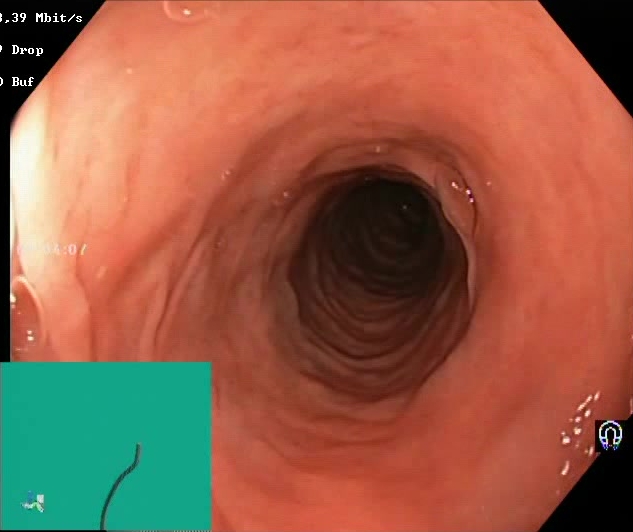{"modality": "lower-GI endoscopy", "category": "mucosal-view quality", "finding": "Boston Bowel Preparation Scale score 2\u20133 (adequate preparation)"}